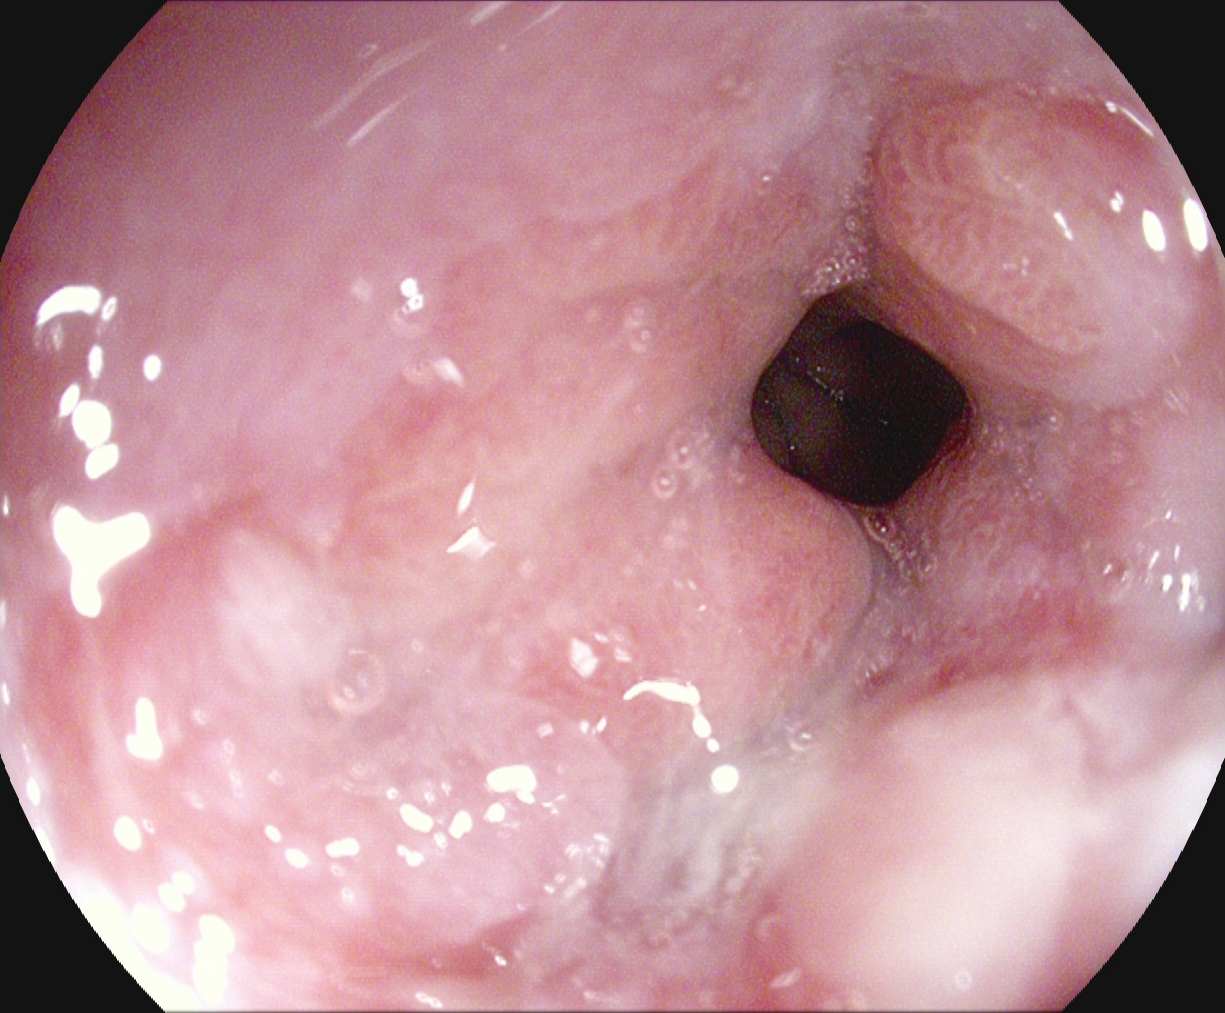Reflux esophagitis, Los Angeles grade B–D.